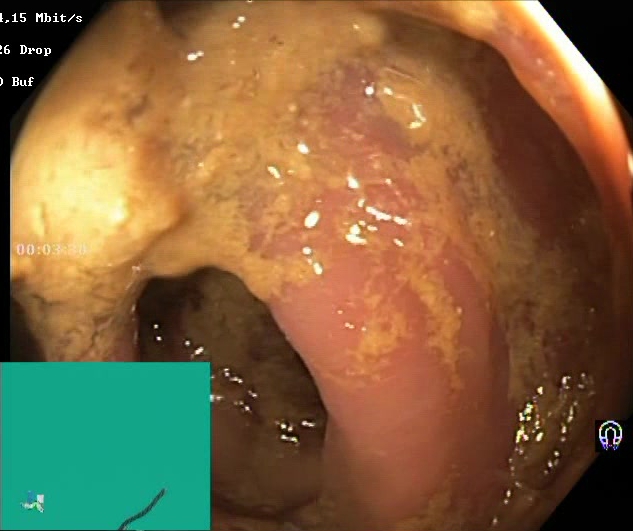{"modality": "lower-GI endoscopy", "tract": "lower GI tract", "finding": "BBPS score 0\u20131 (inadequate preparation)"}